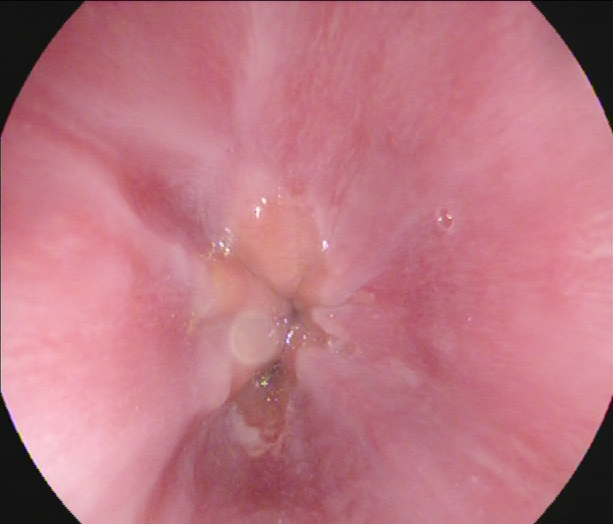Gastroscopy. Tract: upper GI tract. Finding: Z-line (gastroesophageal junction).